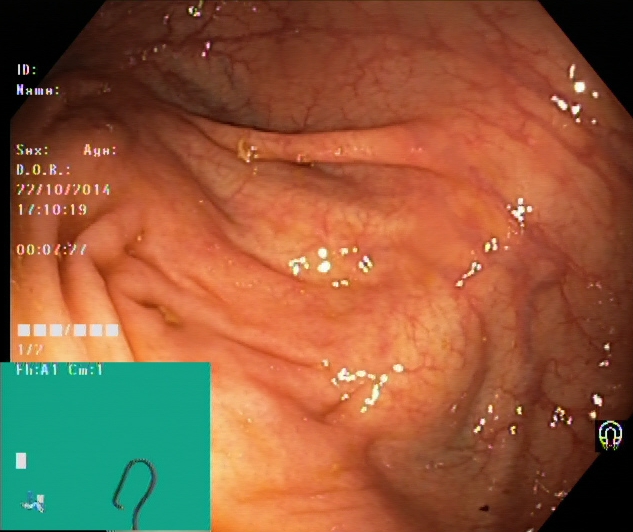Lower-GI endoscopy. Anatomical landmark. Finding: cecum.